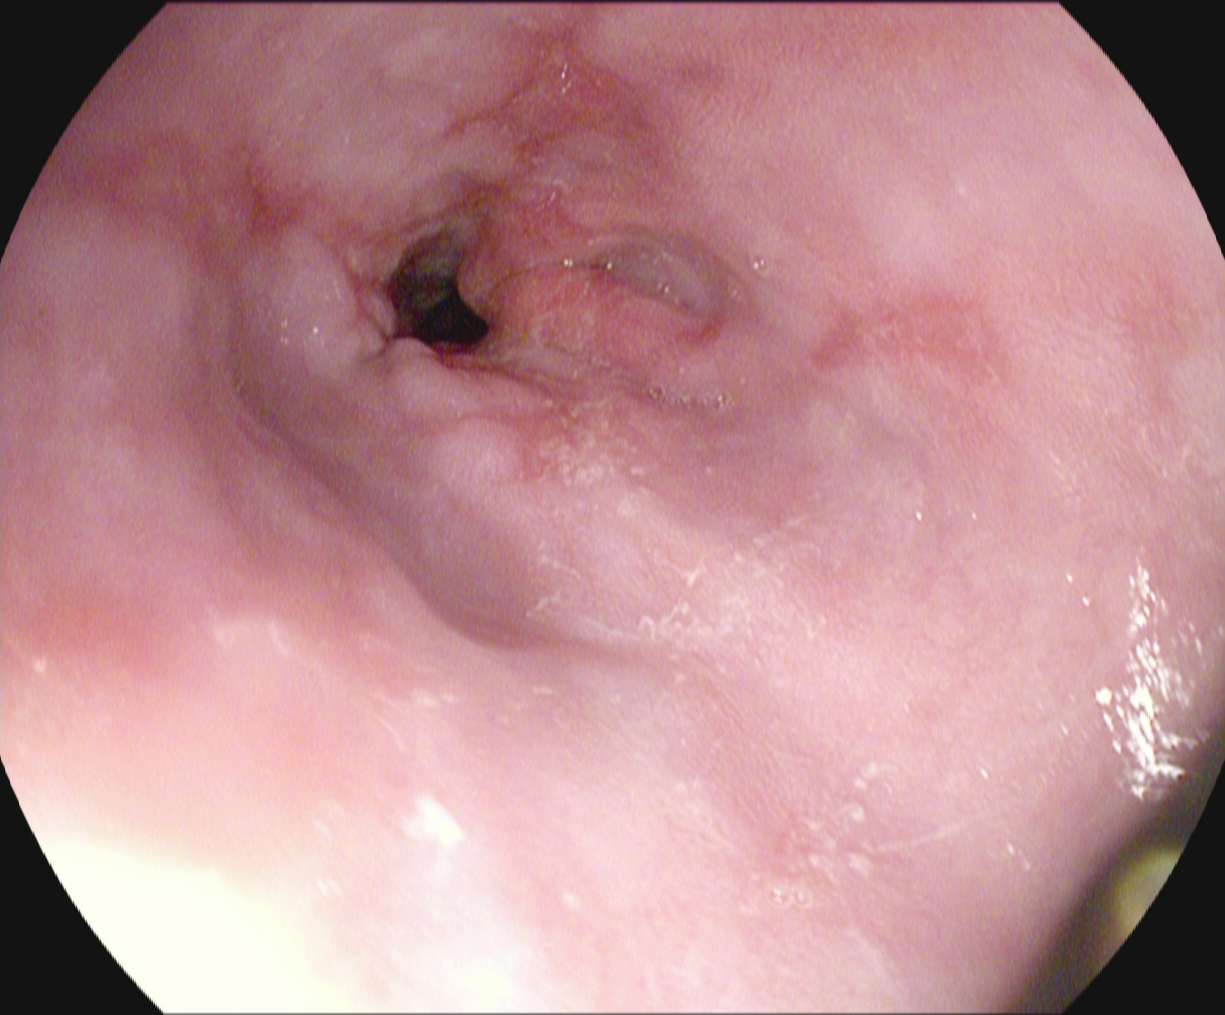Gastroscopy. Pathological finding. Finding: reflux esophagitis, Los Angeles grade B–D.